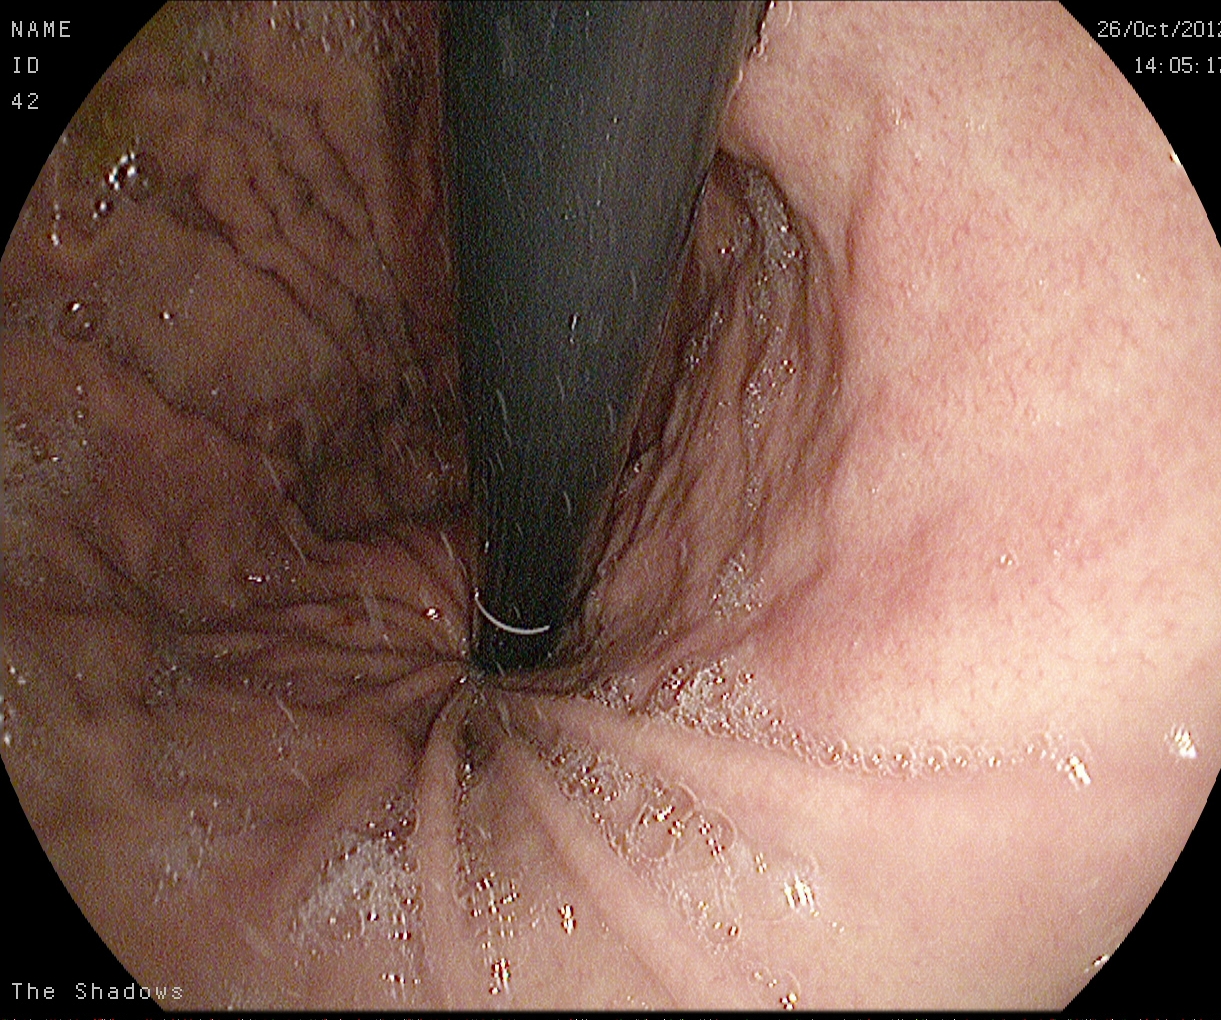PROCEDURE: EGD.
CATEGORY: Anatomical landmark.
FINDINGS: Stomach in retroflexion.